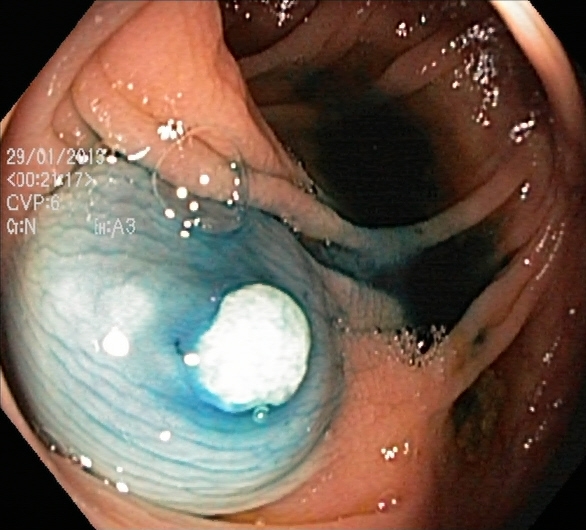Lower gastrointestinal endoscopy — dyed and lifted polyp (pre-resection).